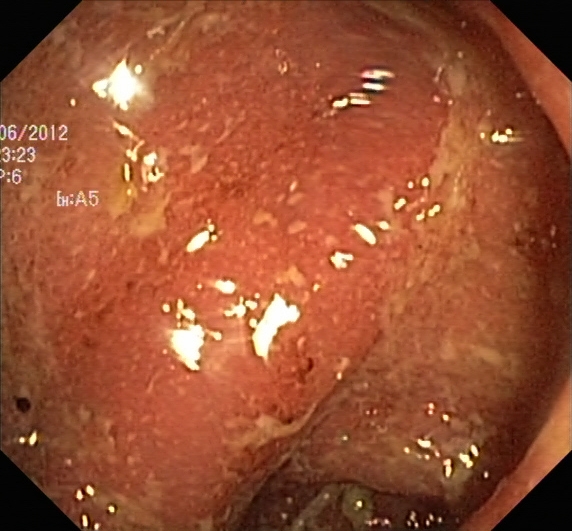PROCEDURE: Lower-GI endoscopy.
CATEGORY: Pathological finding.
FINDINGS: UC, Mayo endoscopic subscore 2.